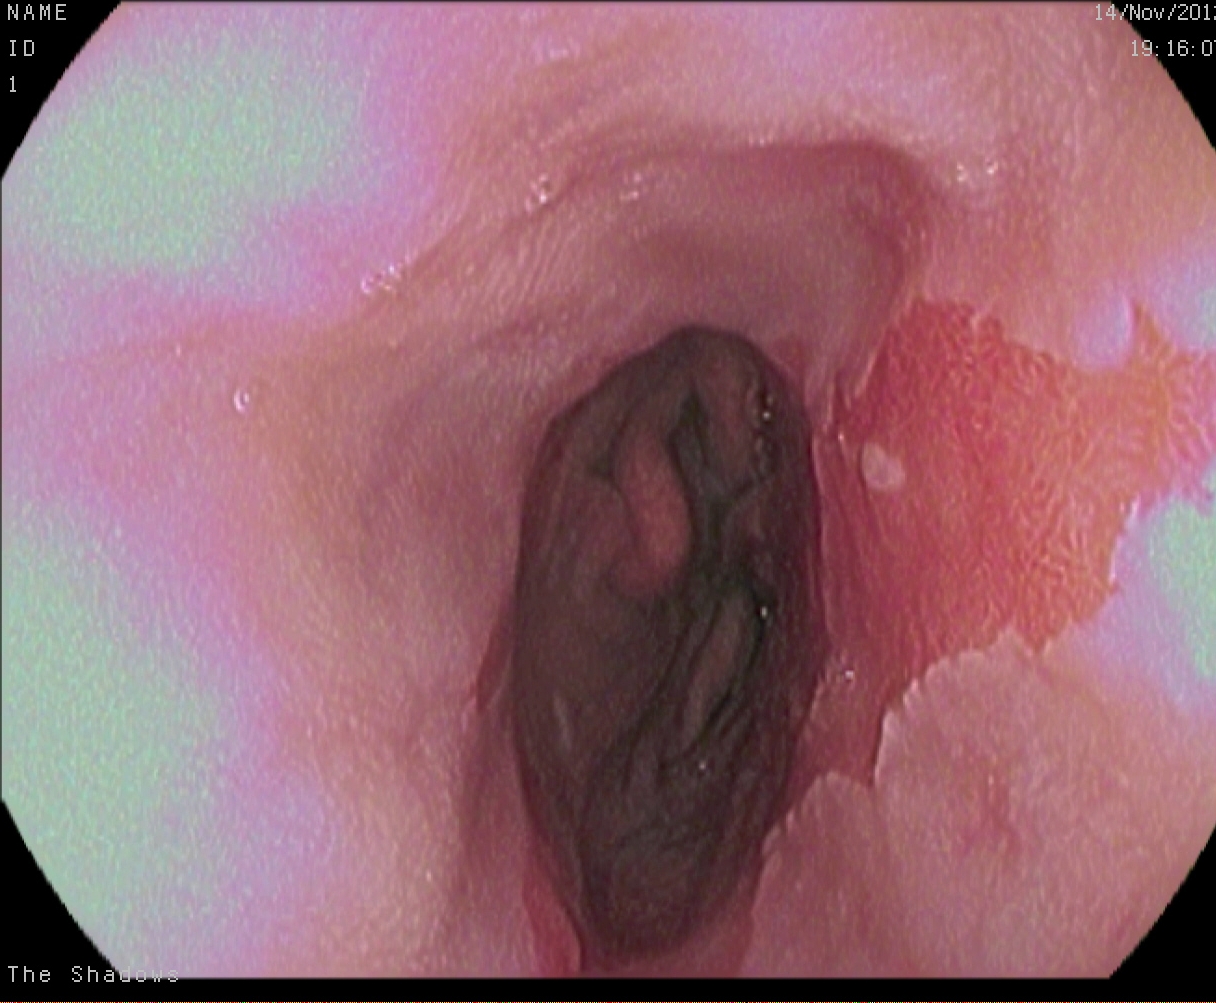Barrett's esophagus, short segment.